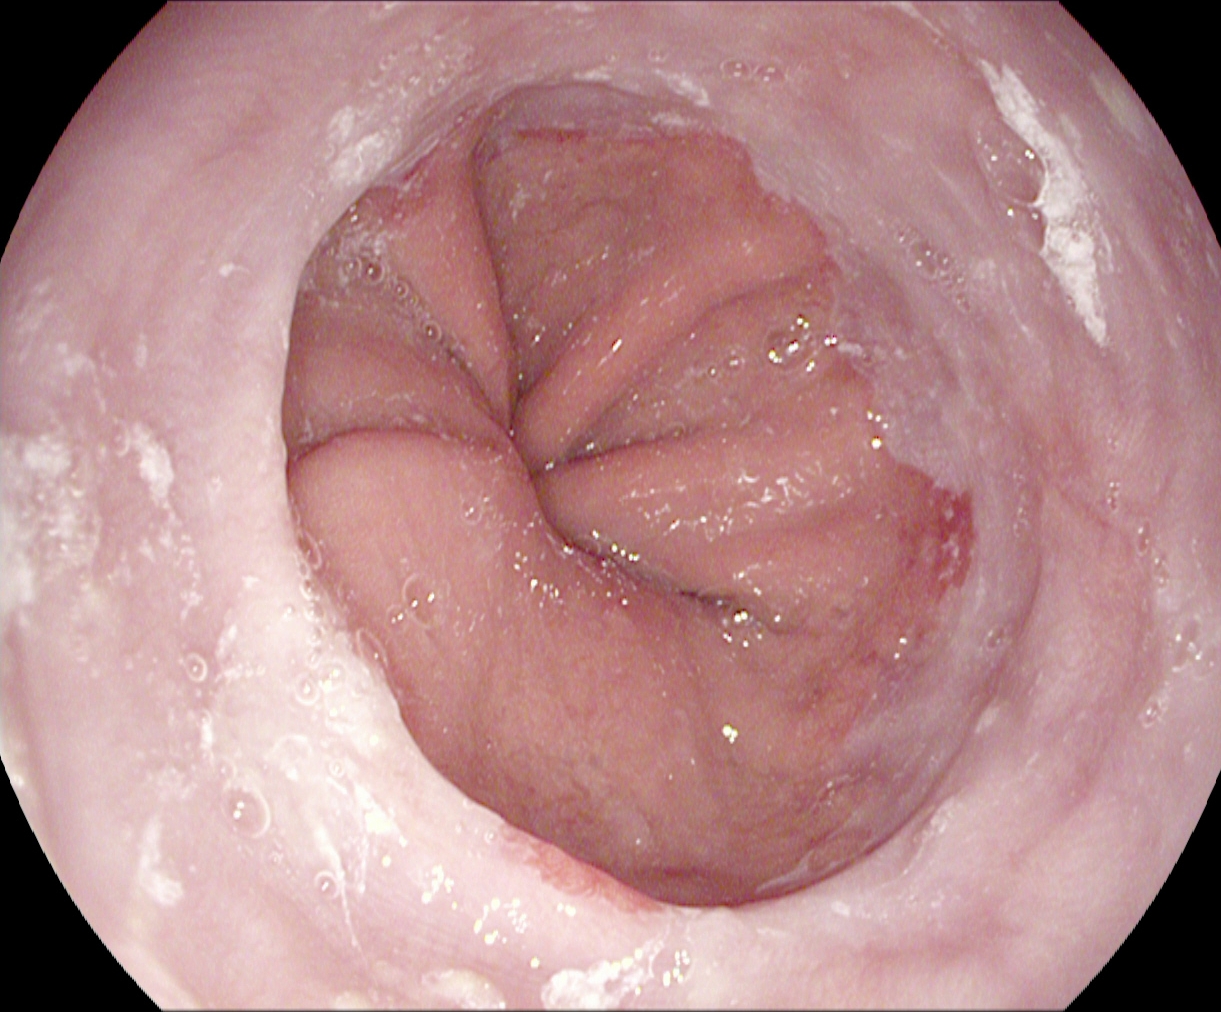EGD. Finding: reflux esophagitis, Los Angeles grade A.